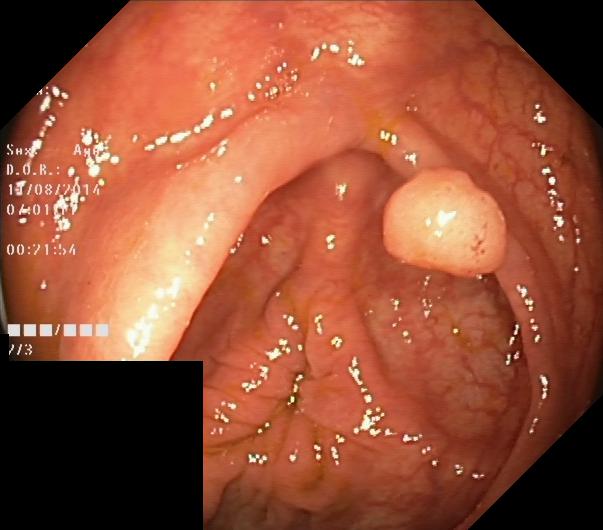PROCEDURE: Lower gastrointestinal endoscopy.
CATEGORY: Pathological finding.
FINDINGS: Colorectal polyp(s).